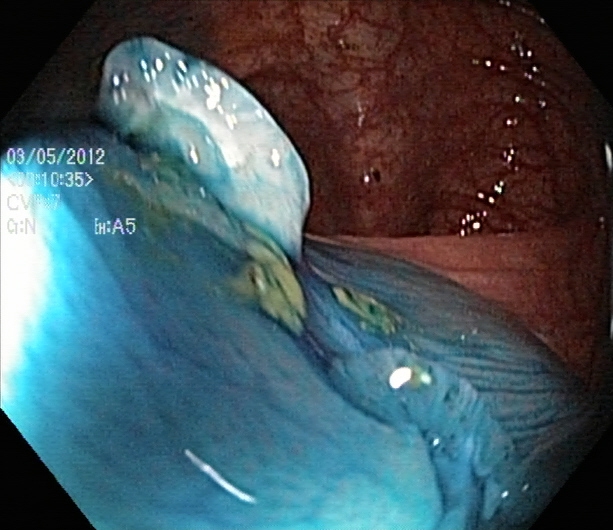Dyed resection margins (post-polypectomy).